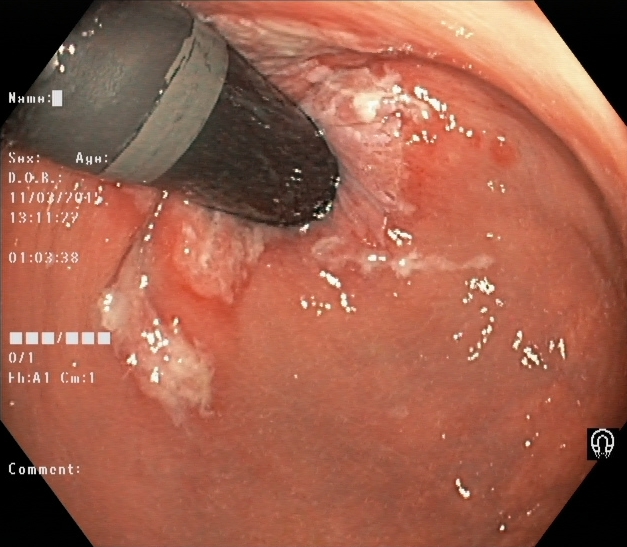Stomach in retroflexion.